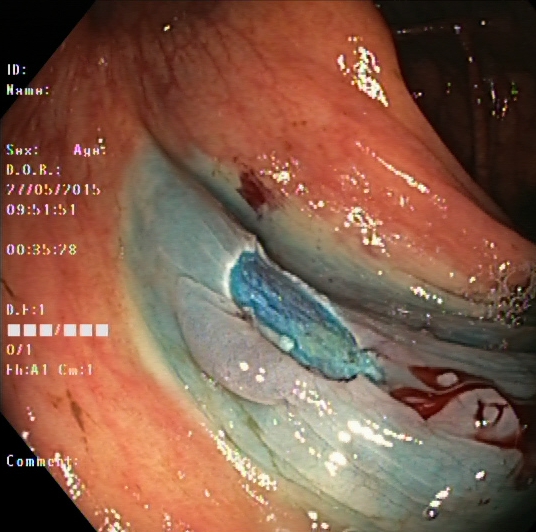Dyed resection margins (post-polypectomy).